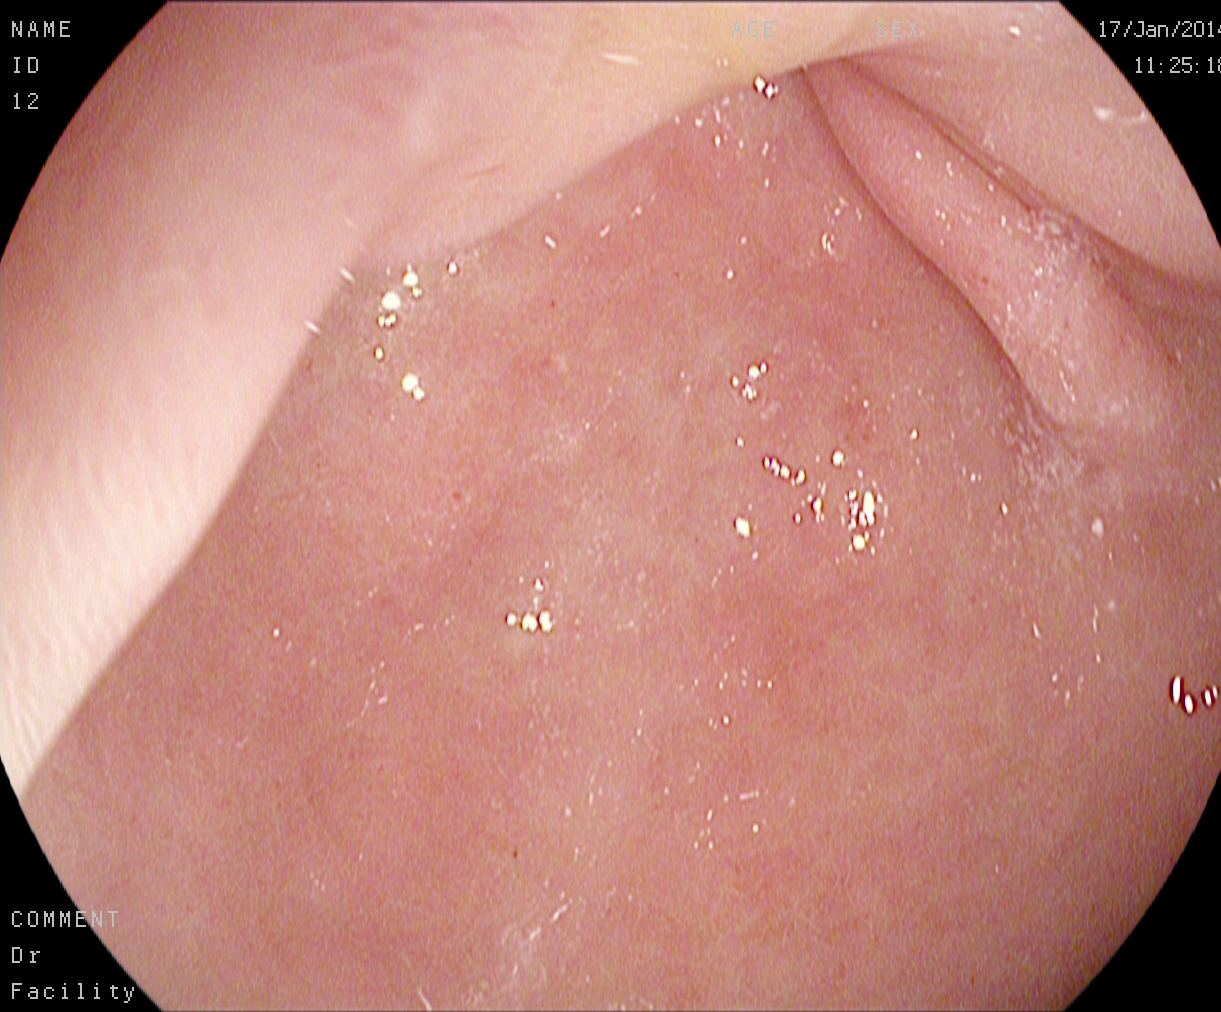Upper-GI endoscopy — pylorus.